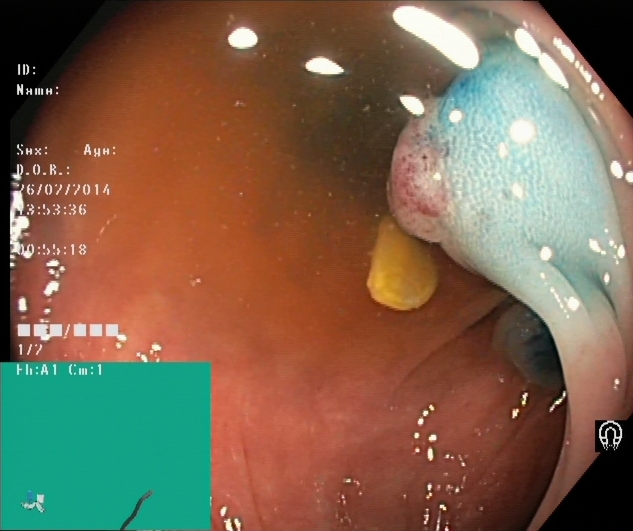modality: lower-GI endoscopy | tract: lower GI tract | category: therapeutic intervention | finding: dyed and lifted polyp (pre-resection)